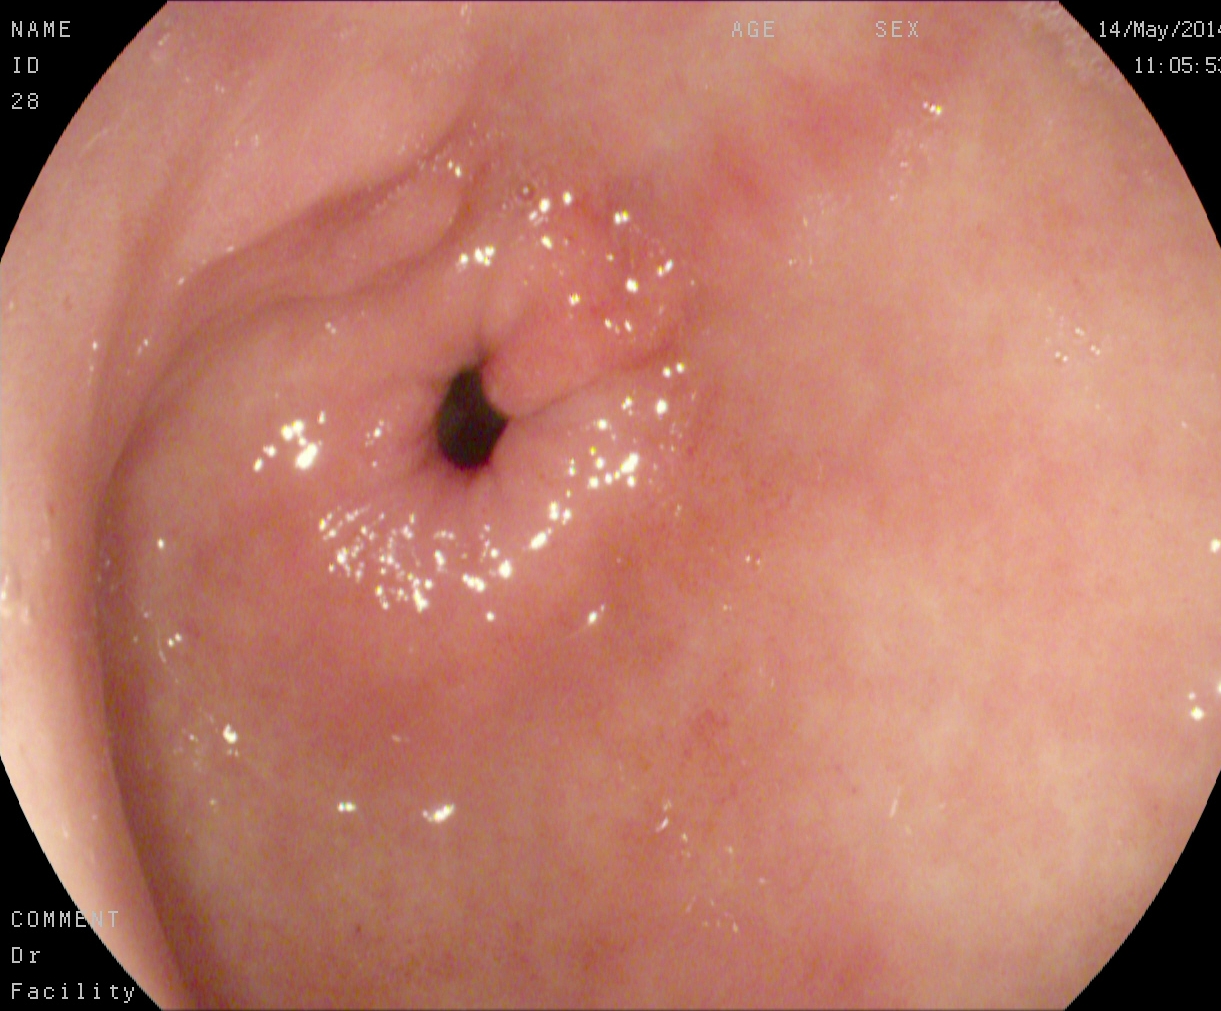Upper-GI endoscopy. Finding: pylorus.